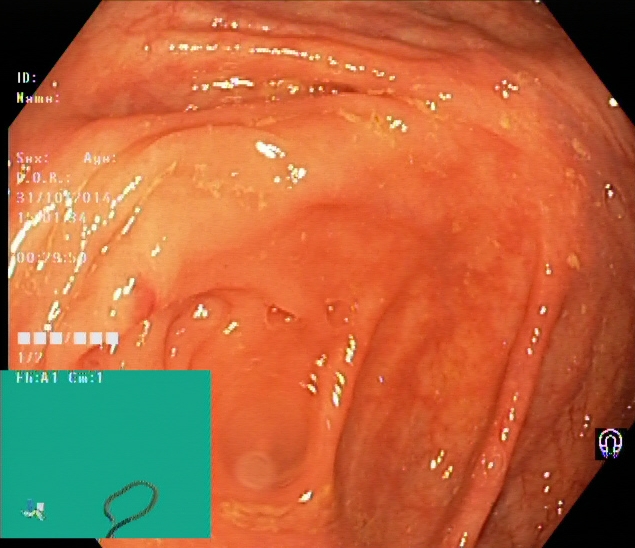Cecum.